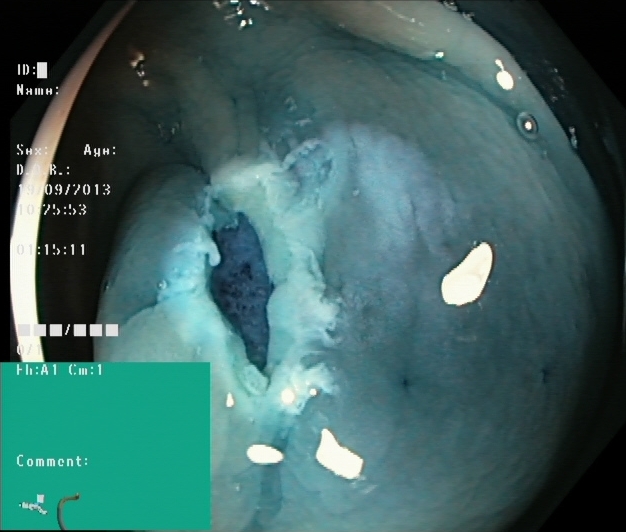{"modality": "lower-GI endoscopy", "finding": "dyed resection margins (post-polypectomy)"}